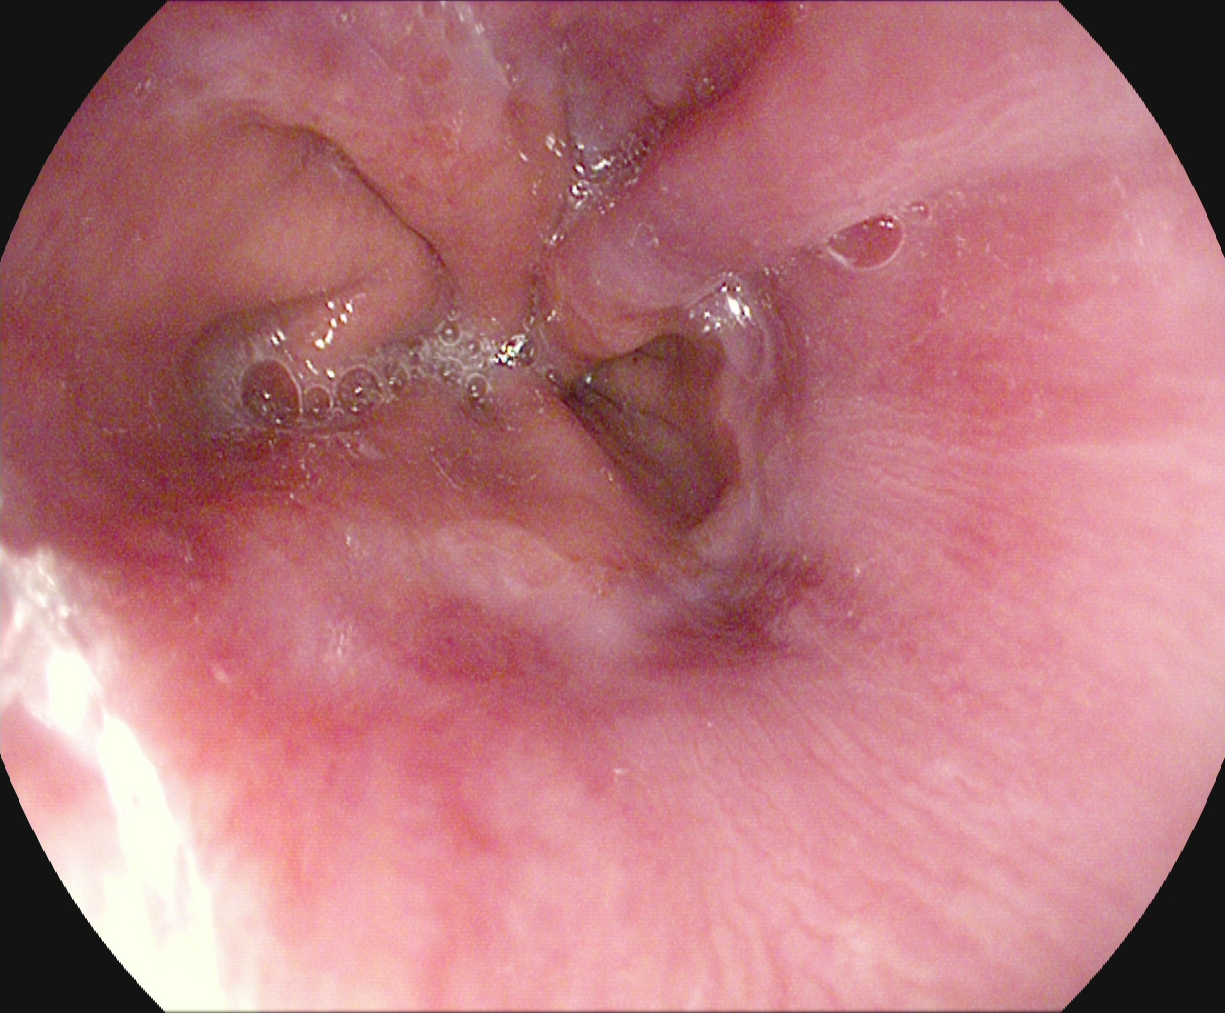Z-line (gastroesophageal junction).